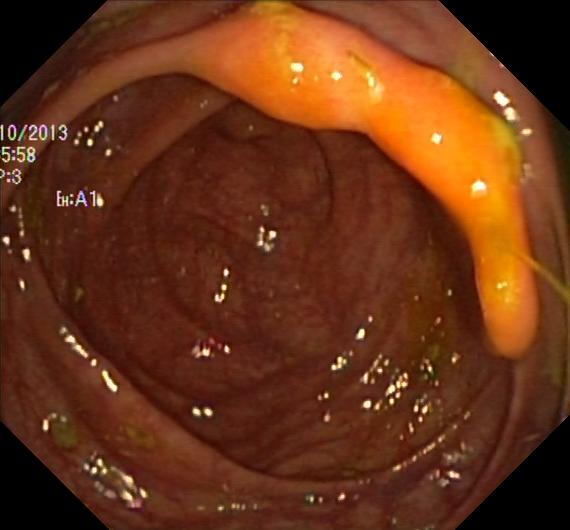Lower gastrointestinal endoscopy. Finding: colorectal polyp(s).